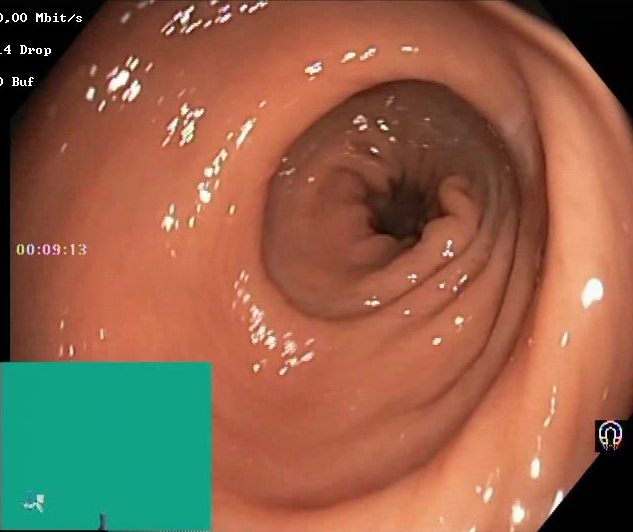This endoscopic image of the lower GI tract shows Boston Bowel Preparation Scale score 2–3 (adequate preparation).